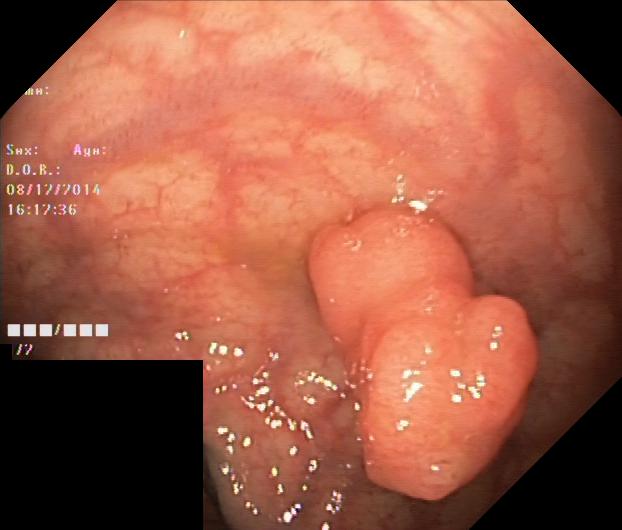Lower-GI endoscopy — colorectal polyp(s).